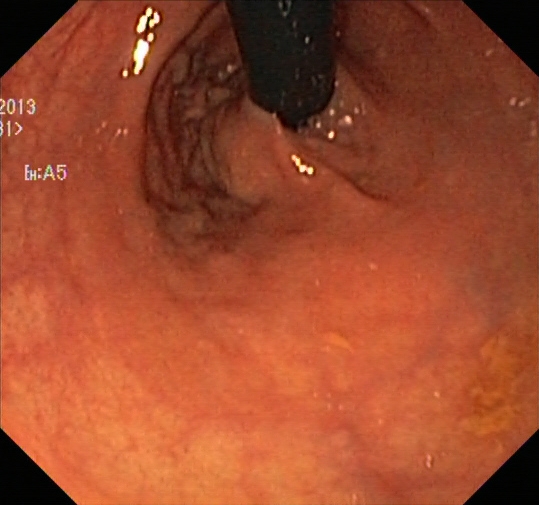Lower-GI endoscopy. Finding: rectum in retroflexion.